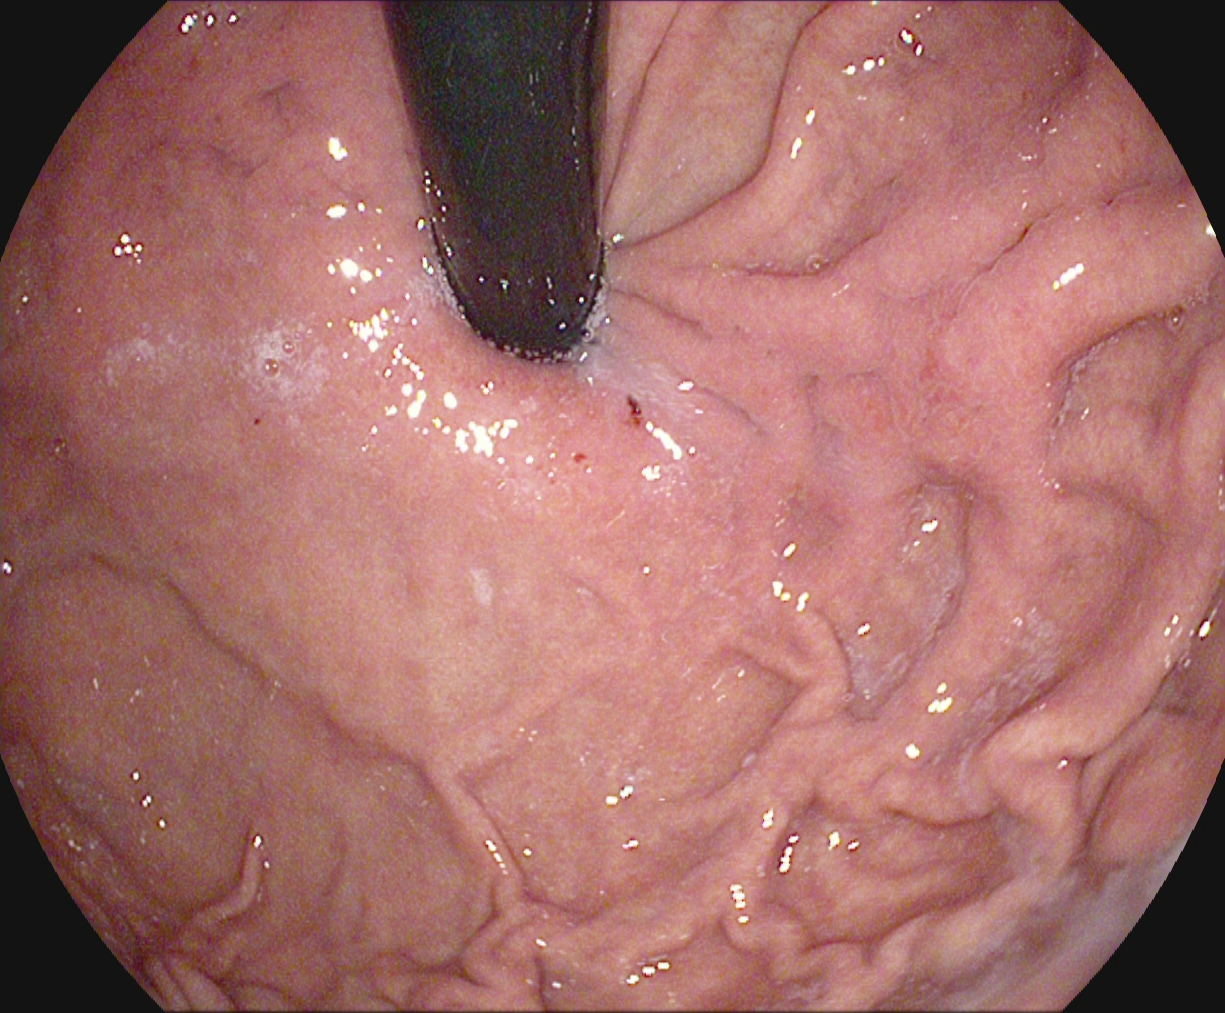Esophagogastroduodenoscopy — stomach in retroflexion.